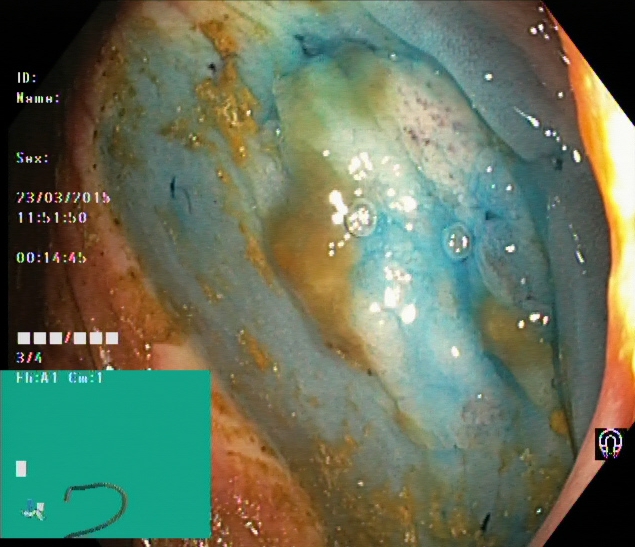Lower-GI endoscopy image of the lower GI tract showing dyed and lifted polyp (pre-resection).